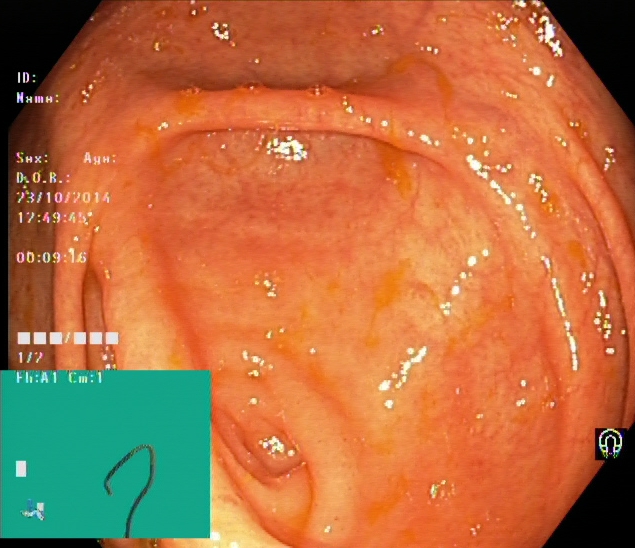Colonoscopy image showing cecum.